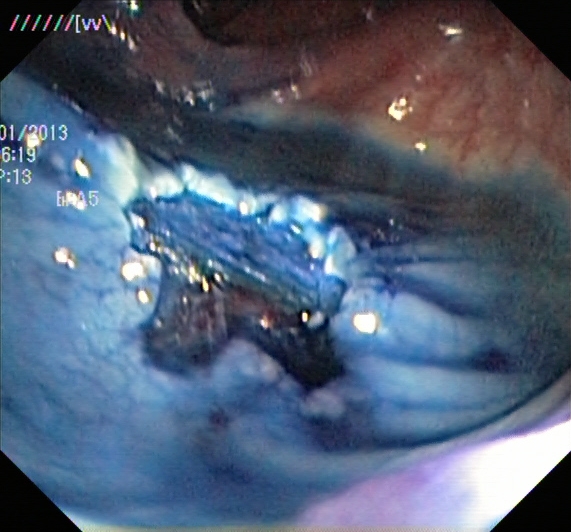Lower-GI endoscopy — dyed resection margins (post-polypectomy).